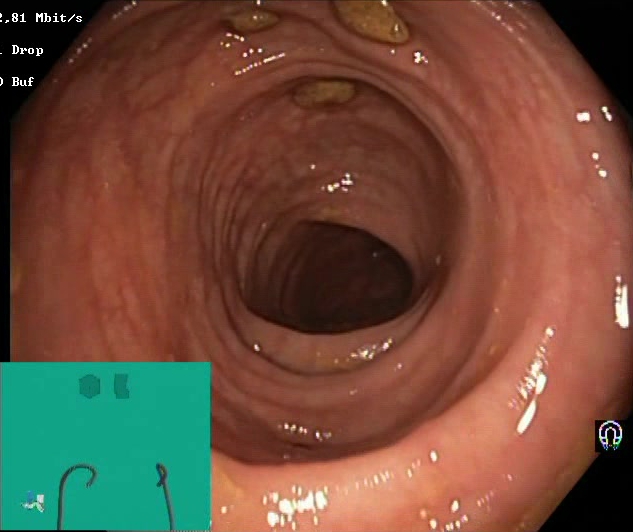{"modality": "lower gastrointestinal endoscopy", "tract": "lower GI tract", "category": "mucosal-view quality", "finding": "impacted stool"}